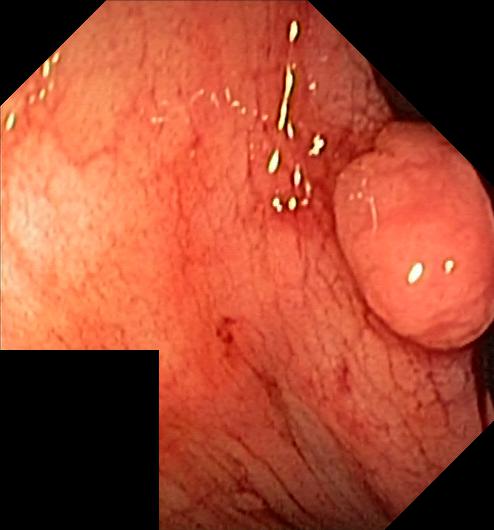modality: lower gastrointestinal endoscopy
tract: lower GI tract
finding: colorectal polyp(s)